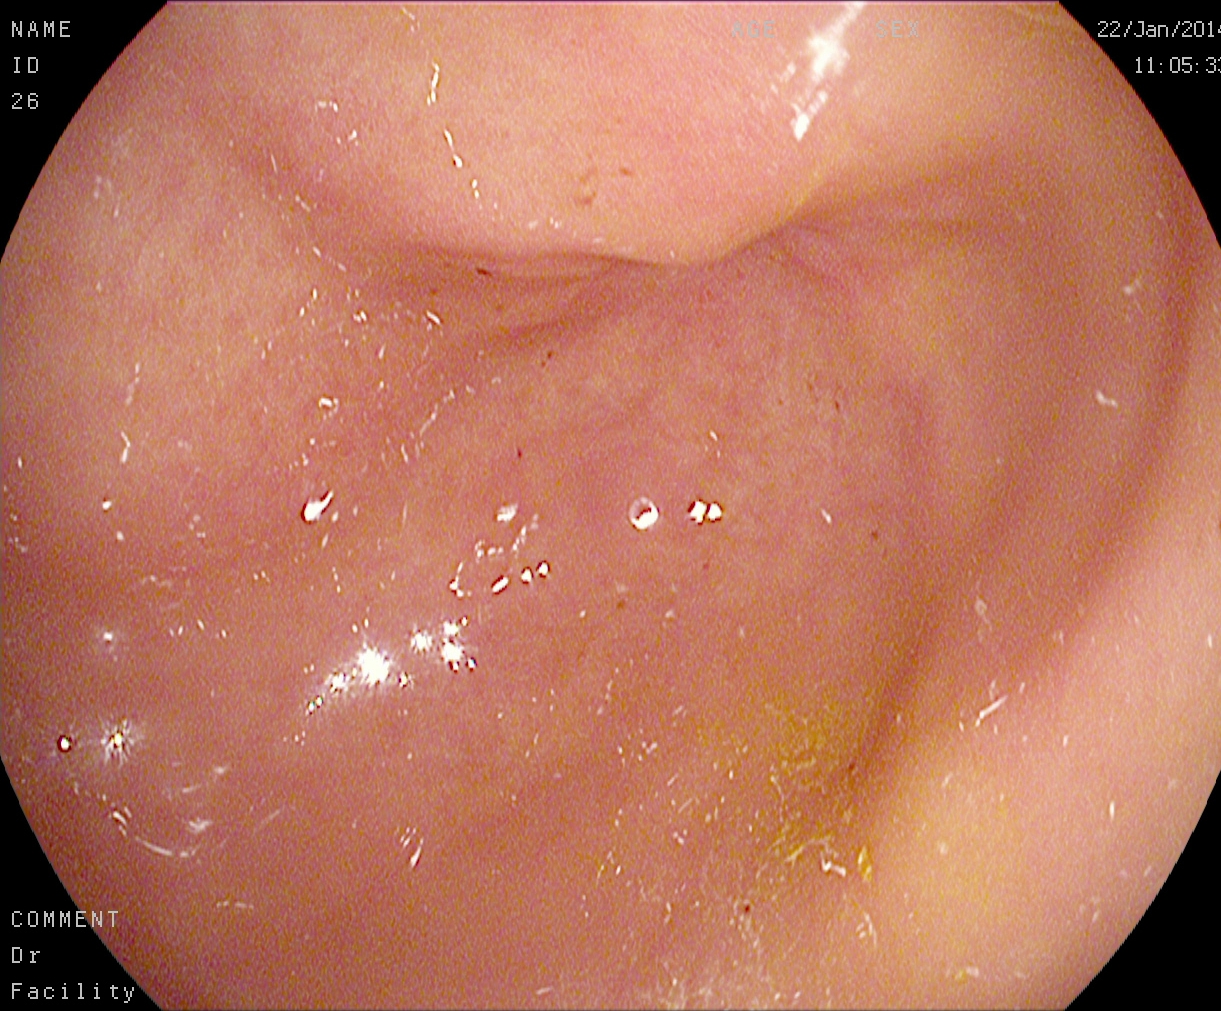Upper-GI endoscopy. Tract: upper GI tract. Finding: pylorus.